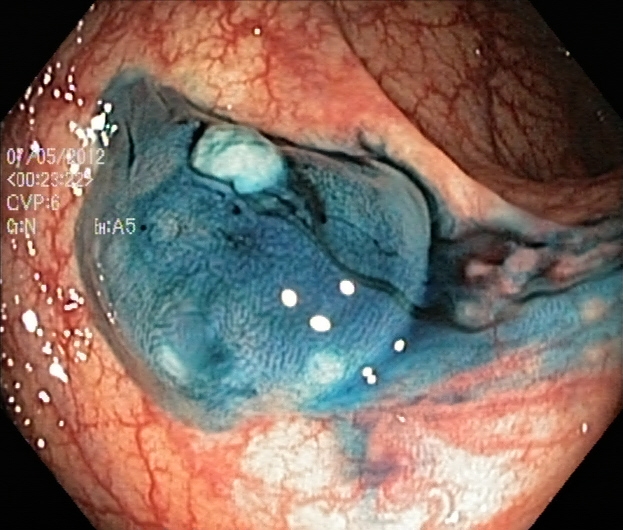modality: lower gastrointestinal endoscopy
category: therapeutic intervention
finding: dyed and lifted polyp (pre-resection)